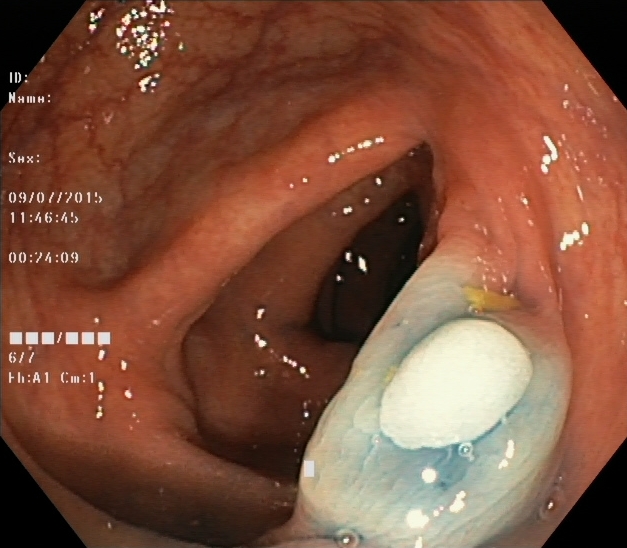Colonoscopy. Tract: lower GI tract. Therapeutic intervention. Finding: dyed and lifted polyp (pre-resection).